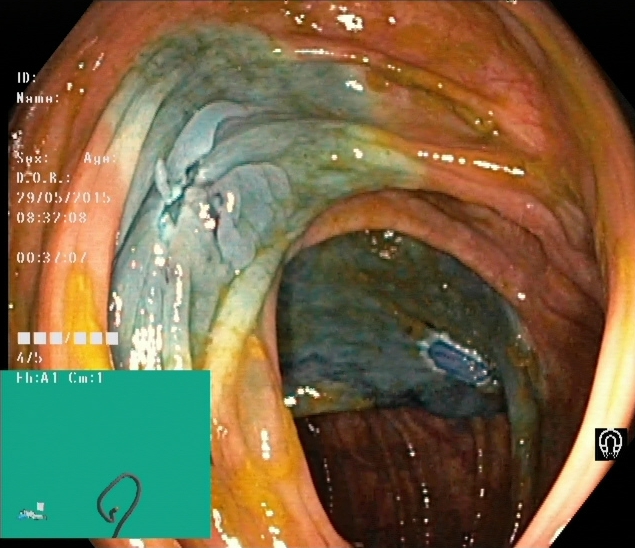Endoscopic frame showing dyed resection margins (post-polypectomy).